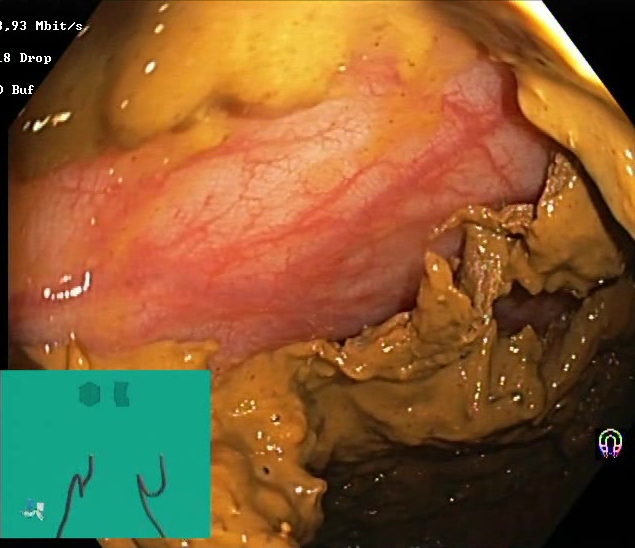Endoscopic frame of the lower GI tract showing BBPS score 0–1 (inadequate preparation).